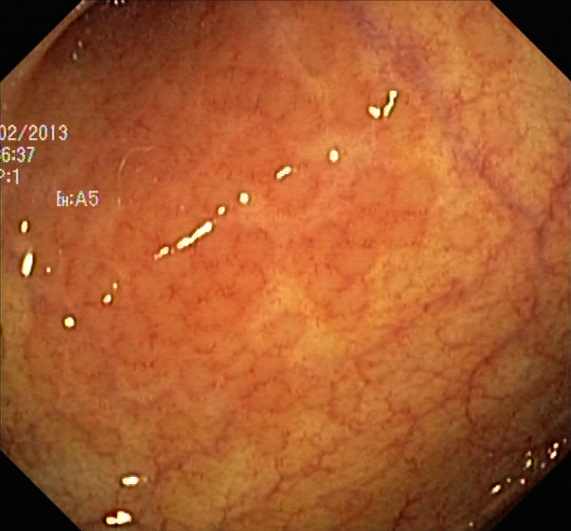Colonoscopy image showing ulcerative colitis, Mayo endoscopic subscore 0–1.